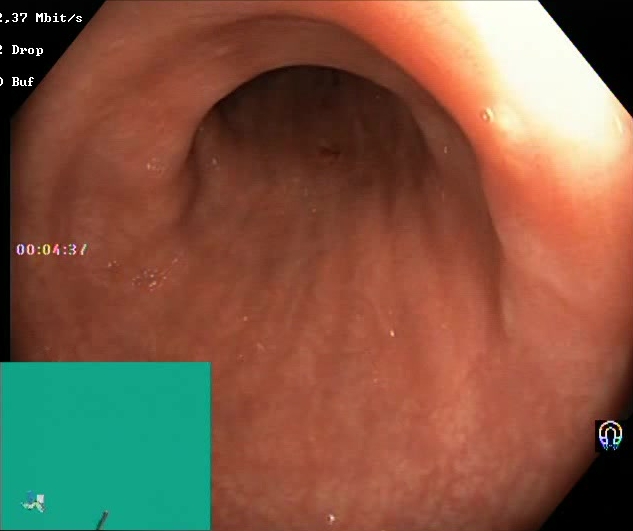This endoscopy frame of the lower GI tract shows Boston Bowel Preparation Scale score 2–3 (adequate preparation).